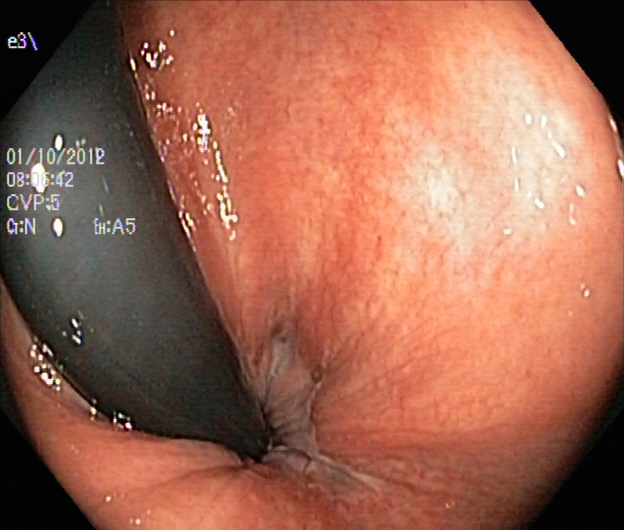Endoscopic image of the lower GI tract showing rectum in retroflexion.